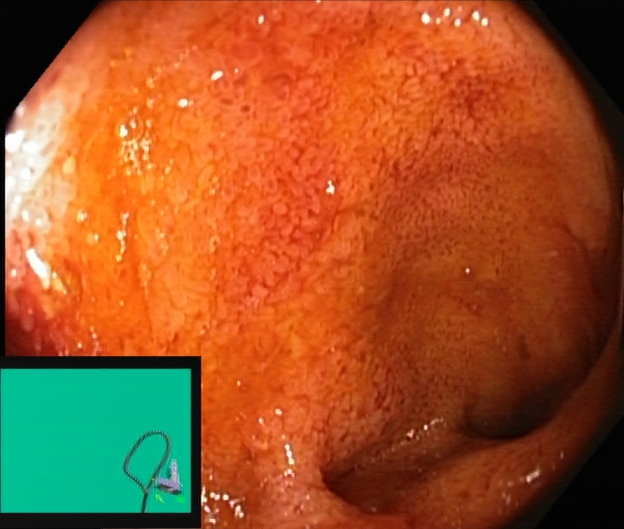Terminal ileum.